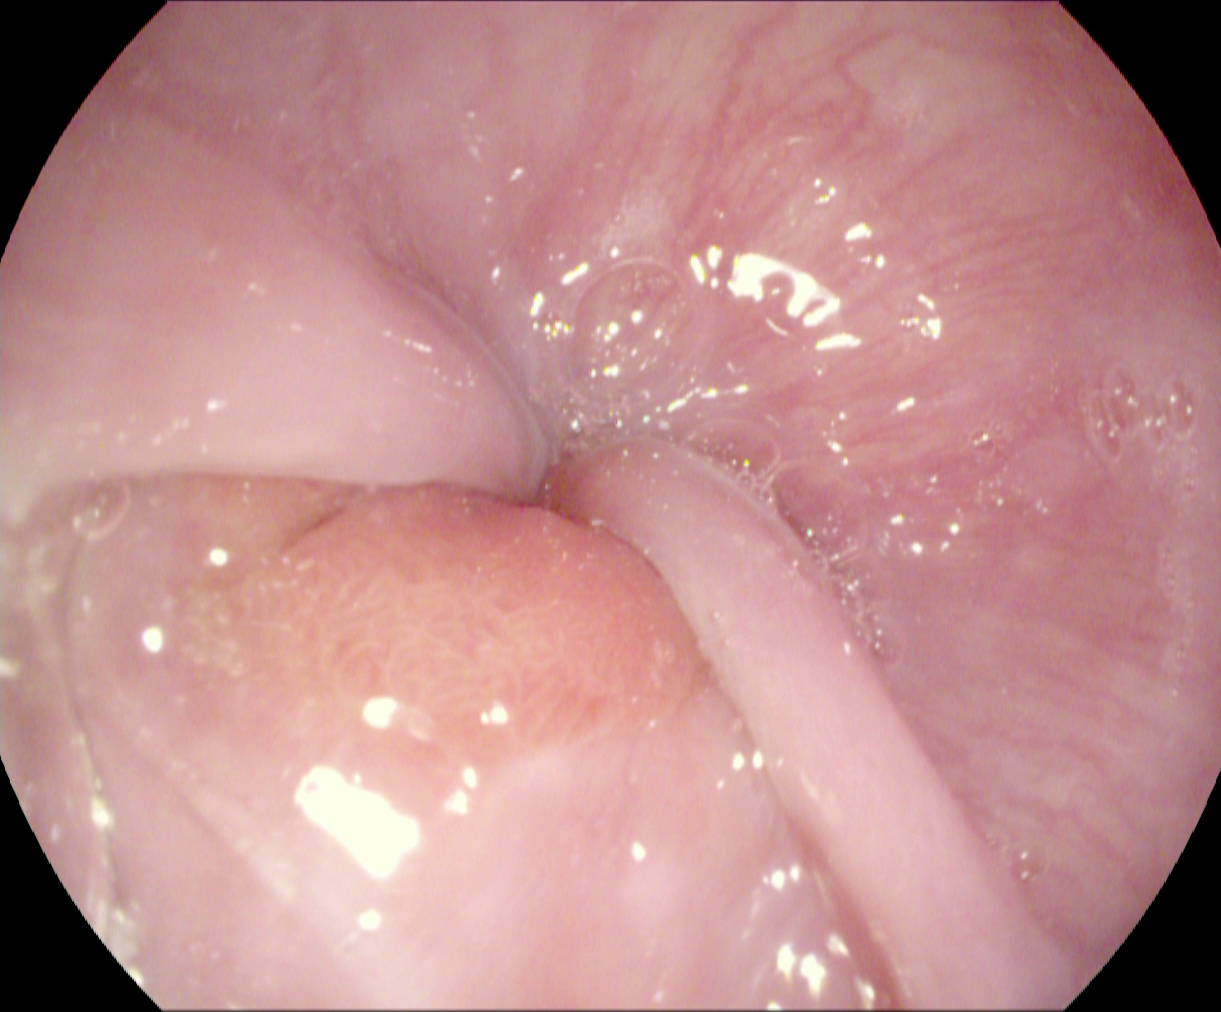PROCEDURE: Esophagogastroduodenoscopy.
CATEGORY: Anatomical landmark.
FINDINGS: Z-line (gastroesophageal junction).